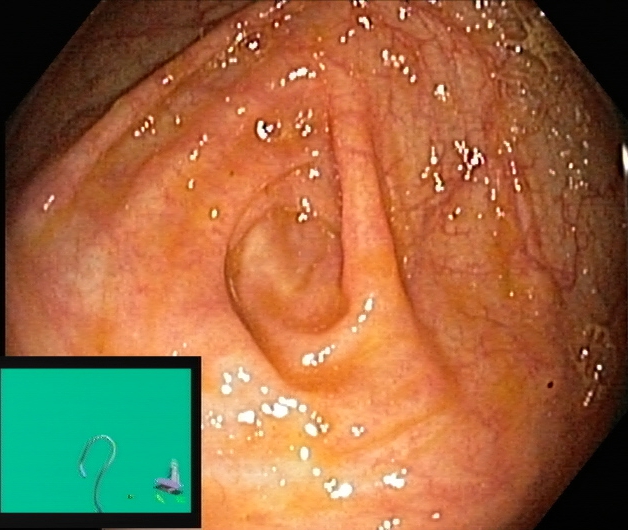Endoscopic image of the lower GI tract showing cecum.